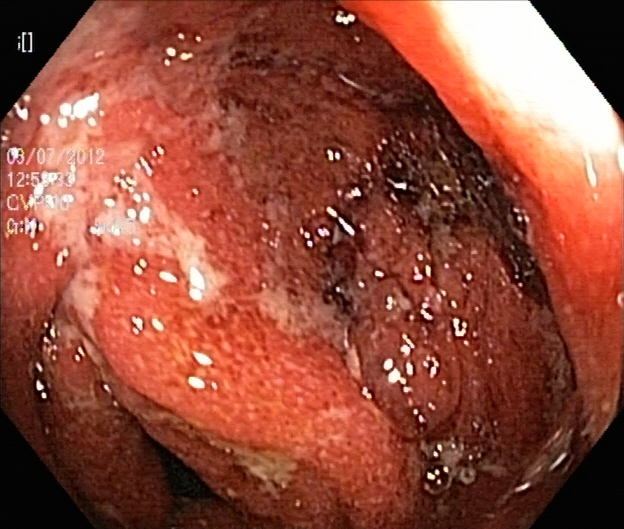modality: colonoscopy; finding: ulcerative colitis, Mayo endoscopic subscore 3